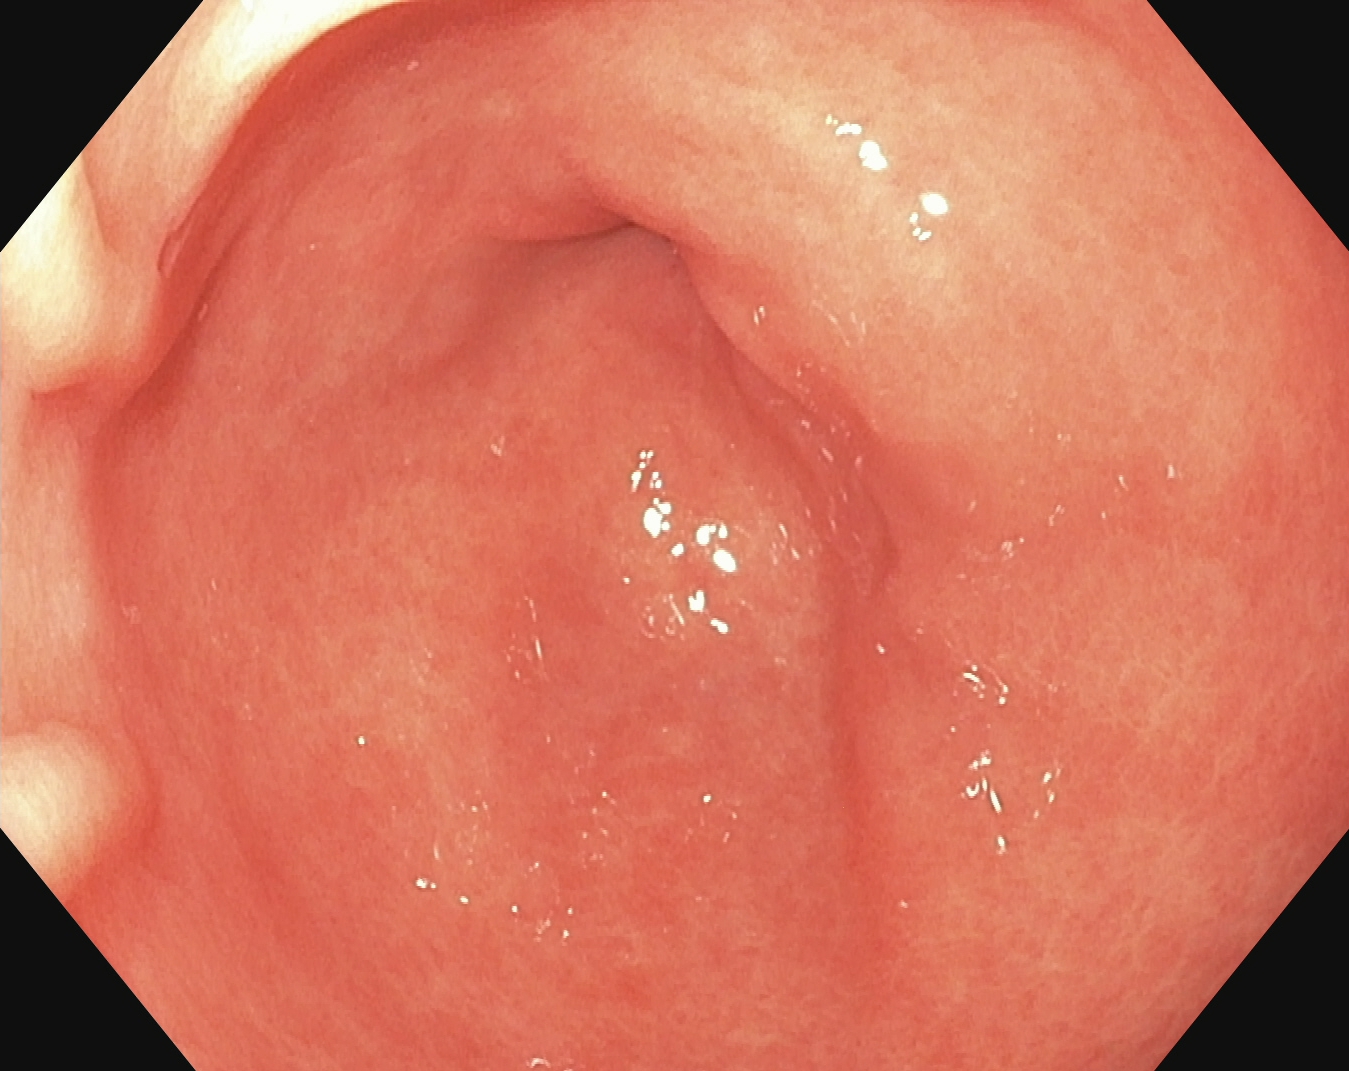modality: EGD; category: anatomical landmark; finding: pylorus